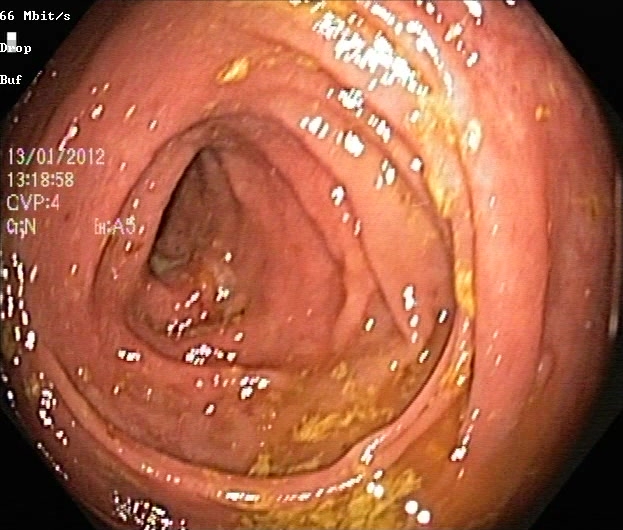Endoscopic image showing ulcerative colitis, Mayo endoscopic subscore 1.